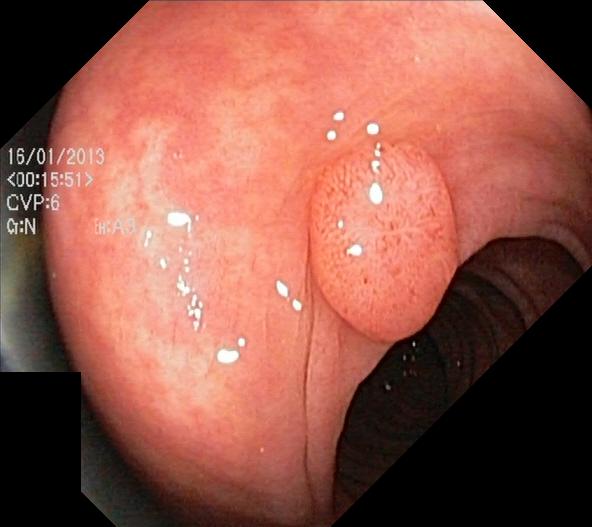{"modality": "colonoscopy", "category": "pathological finding", "finding": "colorectal polyp(s)"}